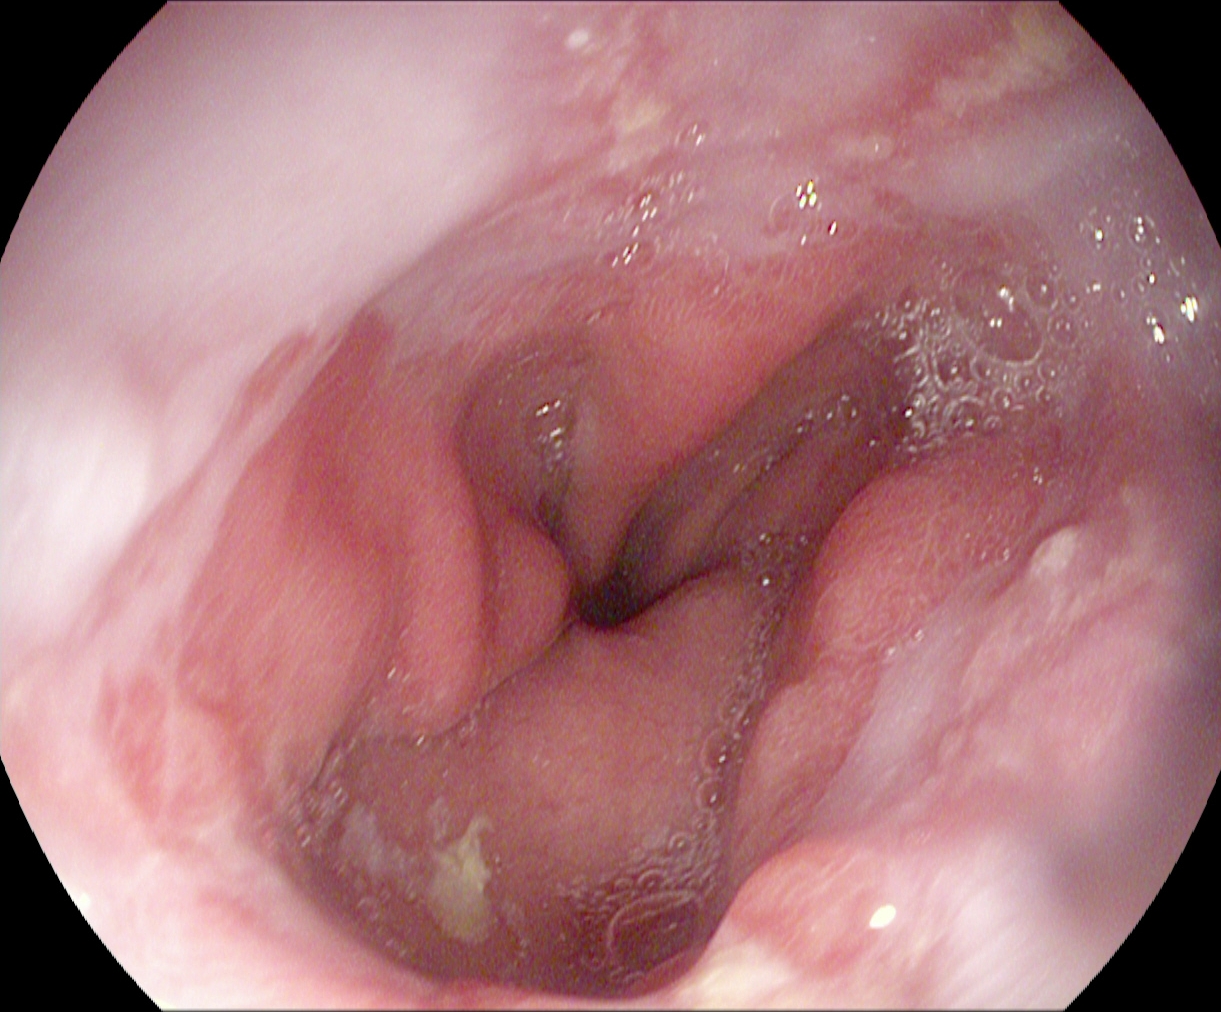Gastroscopy — reflux esophagitis, LA grade A.